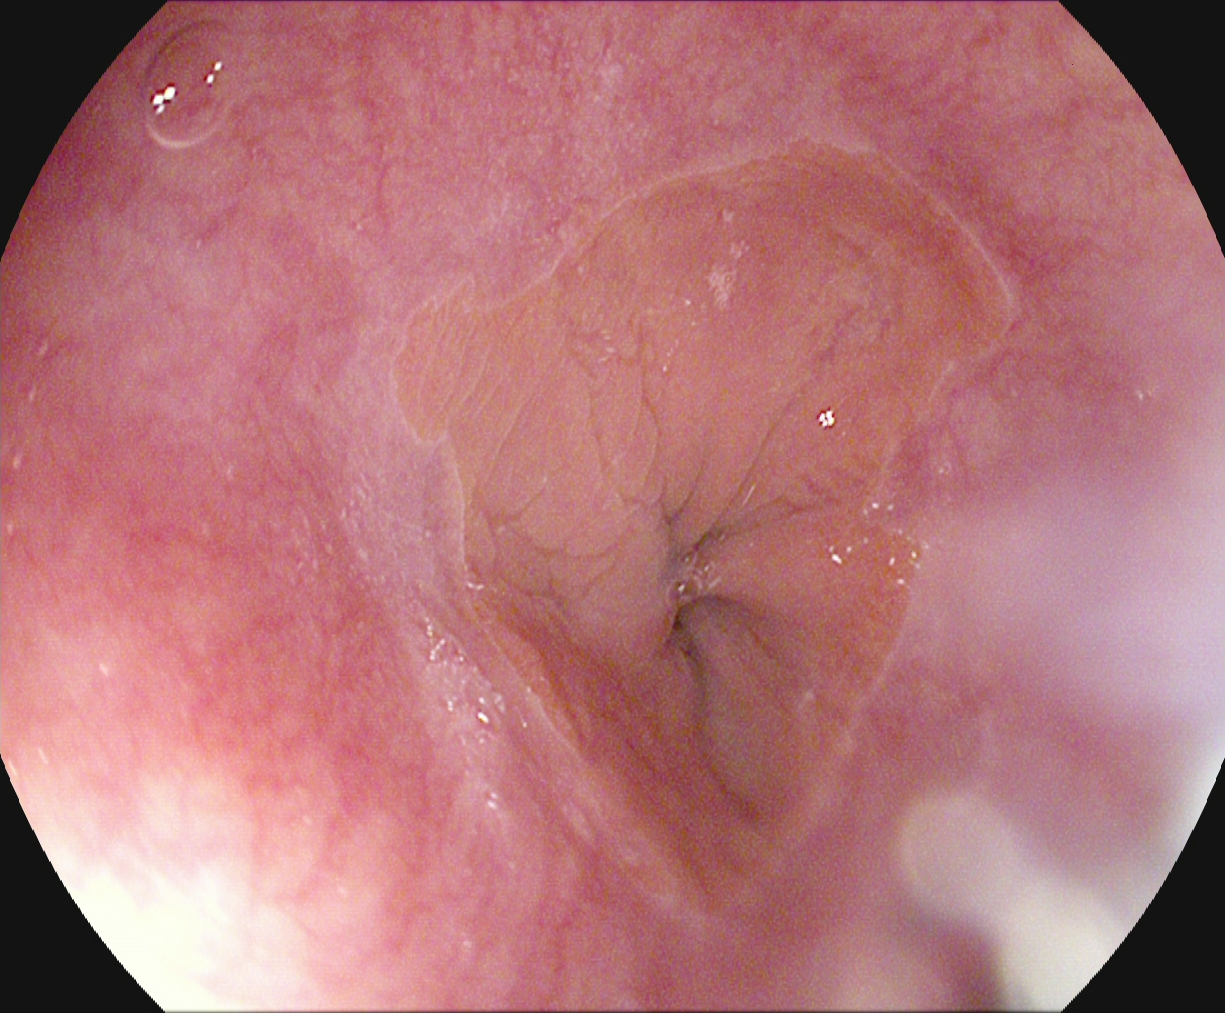modality: upper-GI endoscopy
tract: upper GI tract
finding: Z-line (gastroesophageal junction)